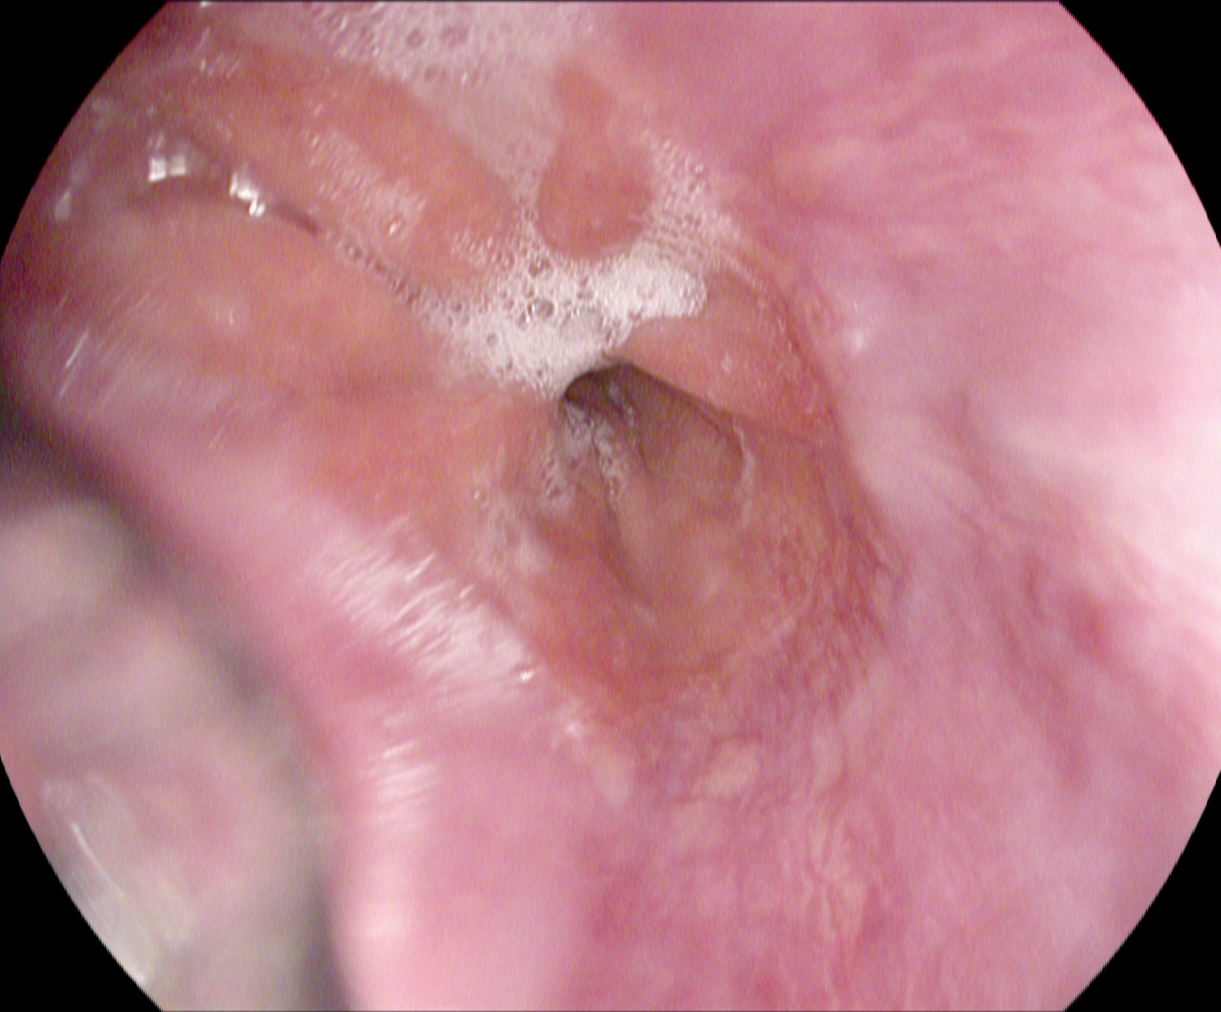PROCEDURE: Gastroscopy.
FINDINGS: Z-line (gastroesophageal junction).